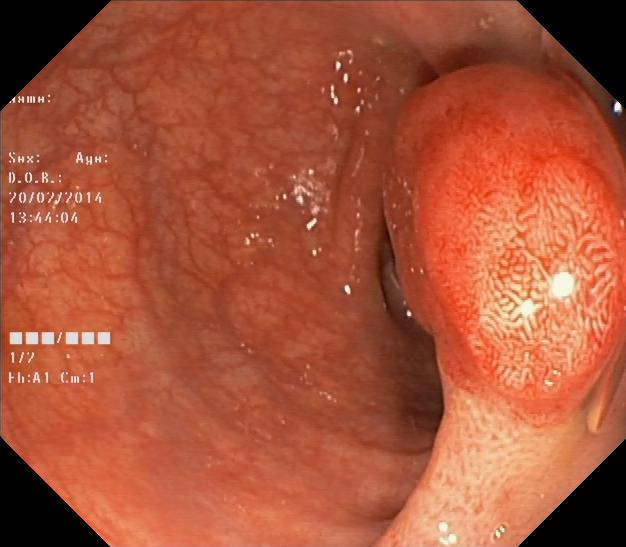Colorectal polyp(s).